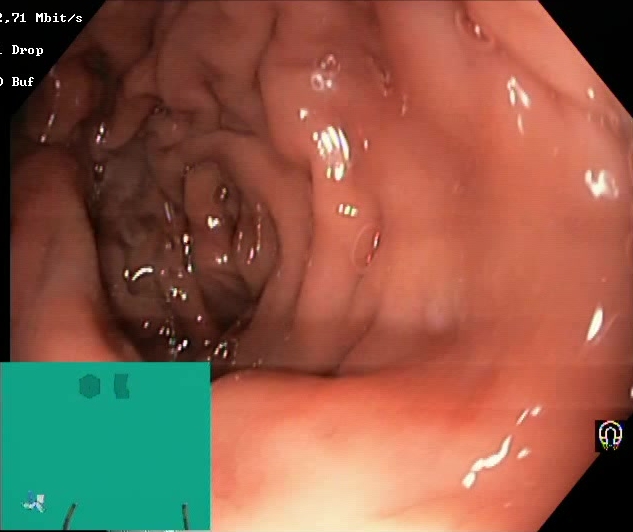Lower gastrointestinal endoscopy. Finding: Boston Bowel Preparation Scale score 2–3 (adequate preparation).